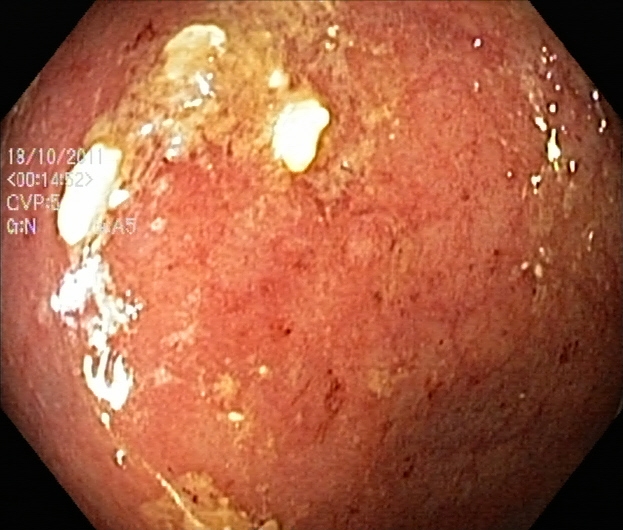Lower gastrointestinal endoscopy. Tract: lower GI tract. Pathological finding. Finding: UC, Mayo endoscopic subscore 2.